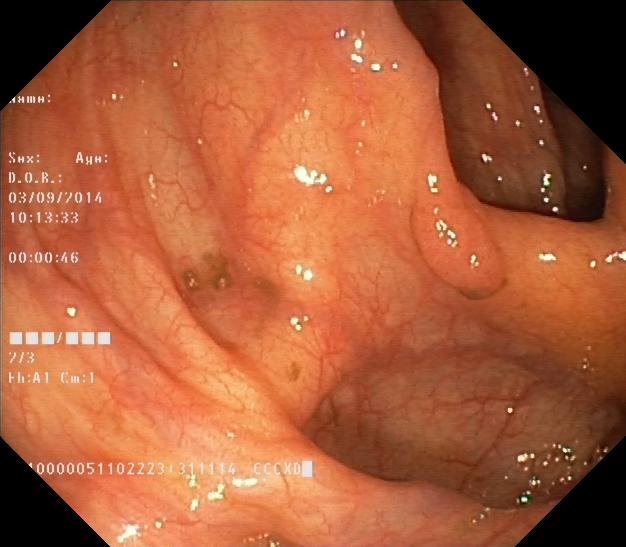colorectal polyp(s).